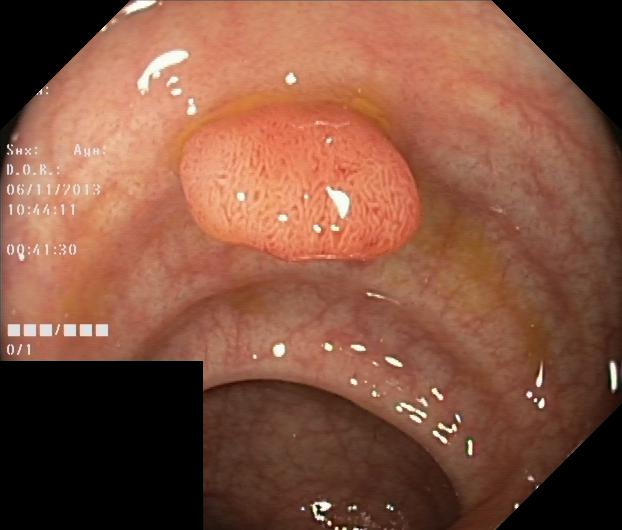Colorectal polyp(s).